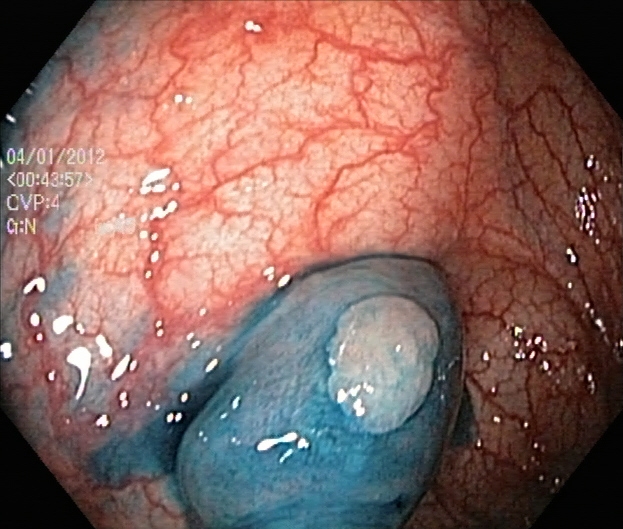GI endoscopy image of the lower GI tract showing dyed and lifted polyp (pre-resection).